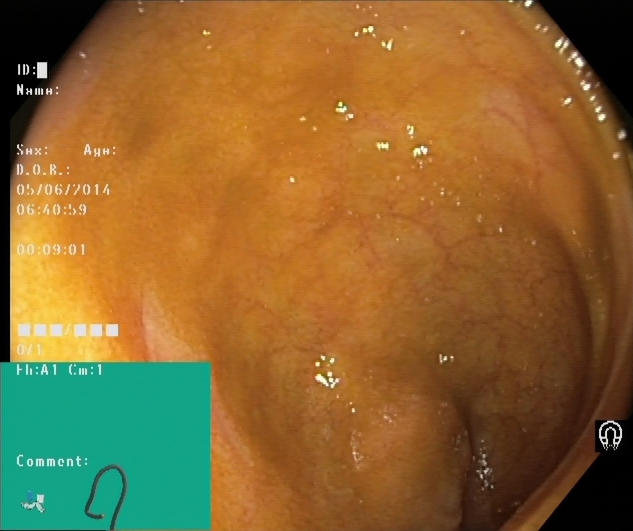{"modality": "lower-GI endoscopy", "tract": "lower GI tract", "category": "anatomical landmark", "finding": "cecum"}